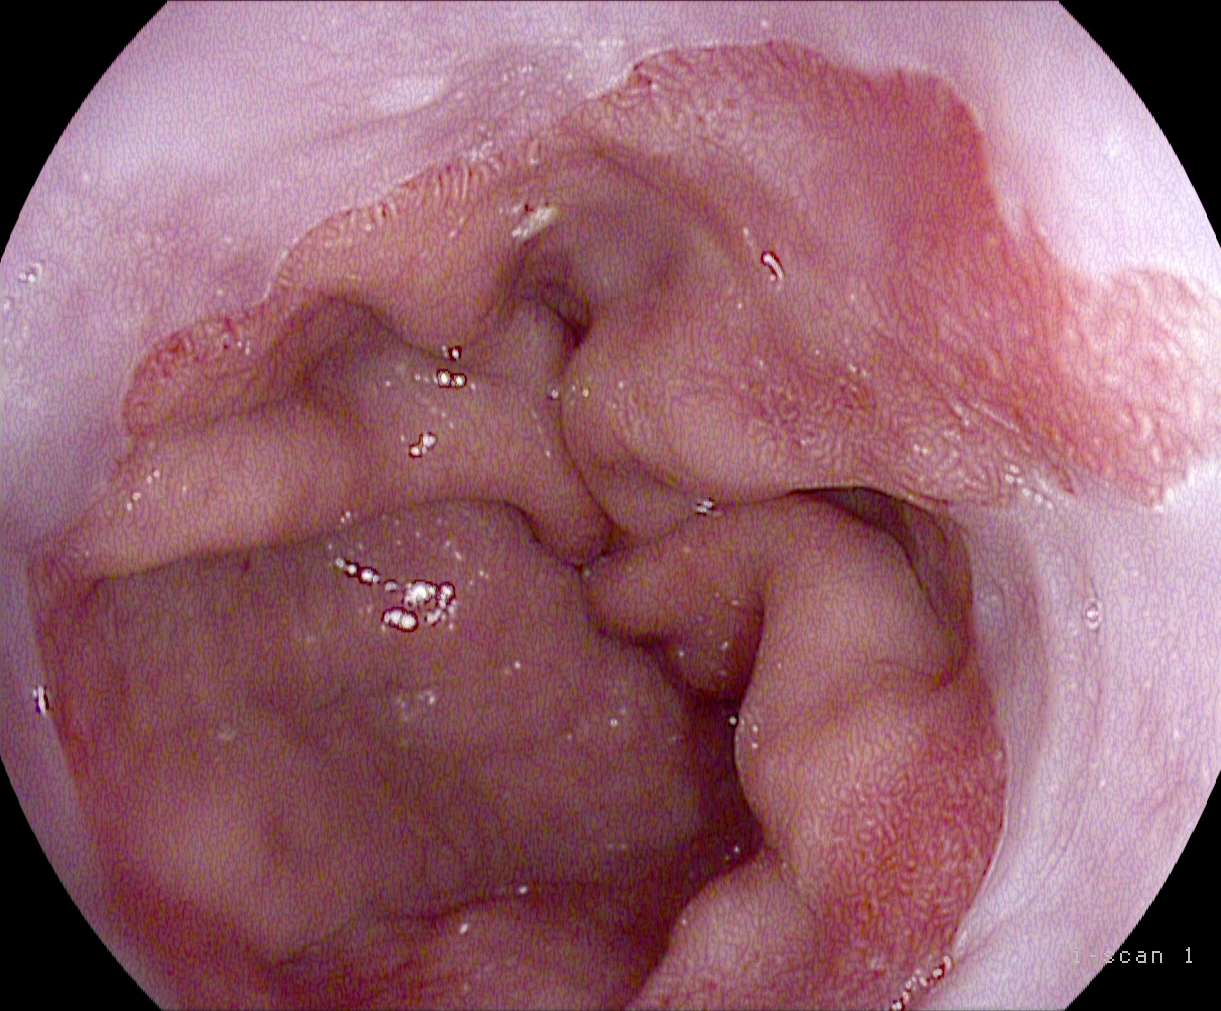Reflux esophagitis, Los Angeles grade B–D.